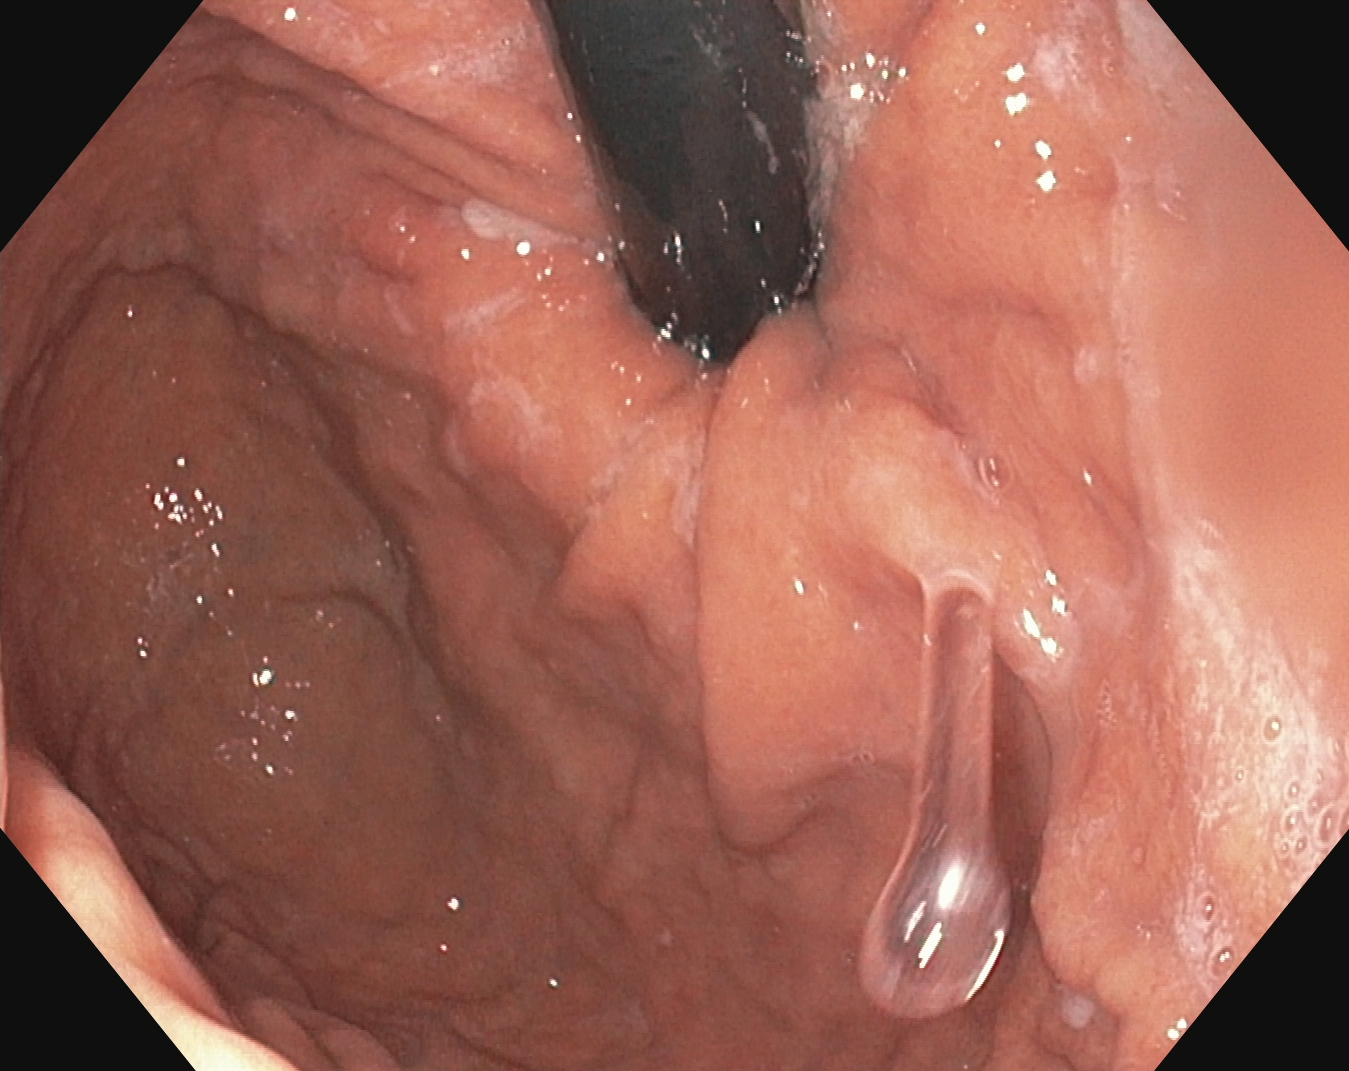{"modality": "gastroscopy", "tract": "upper GI tract", "finding": "stomach in retroflexion"}